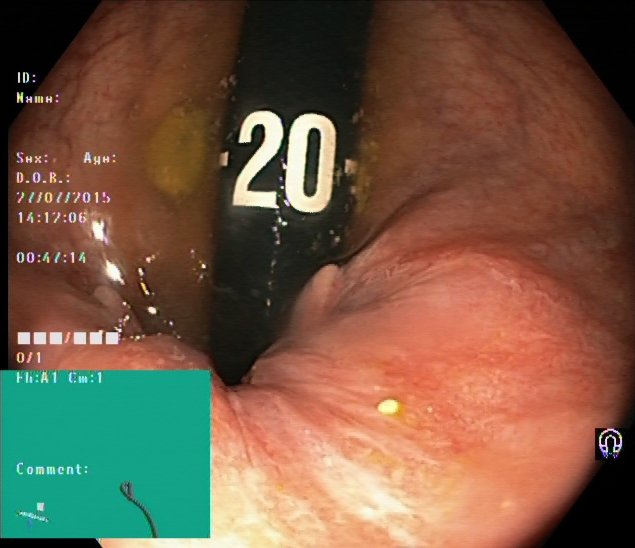Lower gastrointestinal endoscopy. Tract: lower GI tract. Finding: rectum in retroflexion.